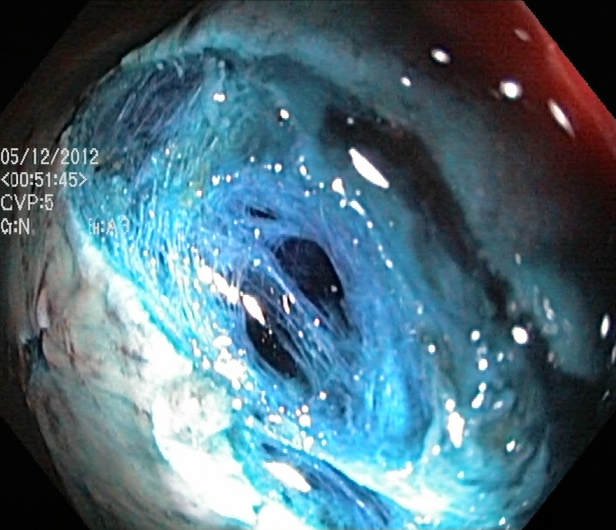dyed resection margins (post-polypectomy).